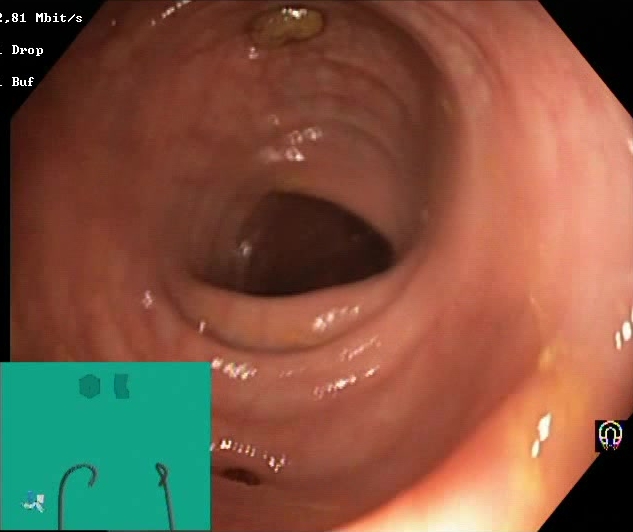This endoscopic image shows BBPS score 2–3 (adequate preparation).